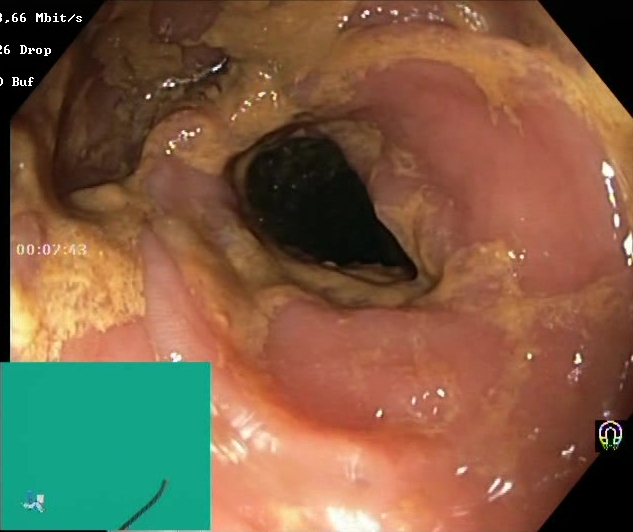GI endoscopy image of the lower GI tract showing Boston Bowel Preparation Scale score 0–1 (inadequate preparation).